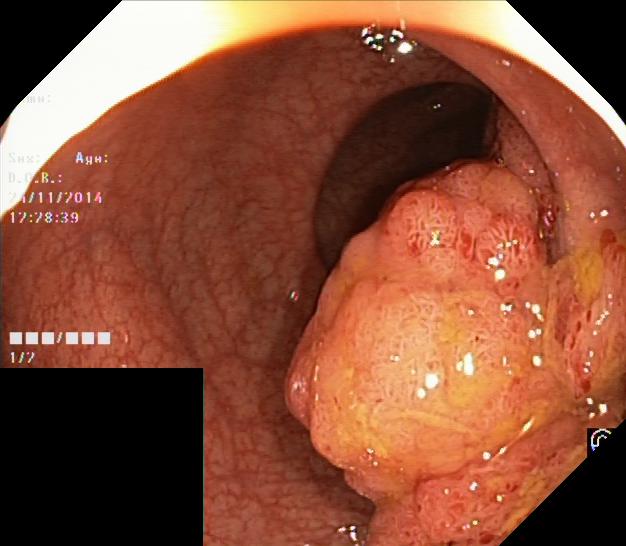Lower gastrointestinal endoscopy image of the lower GI tract showing colorectal polyp(s).